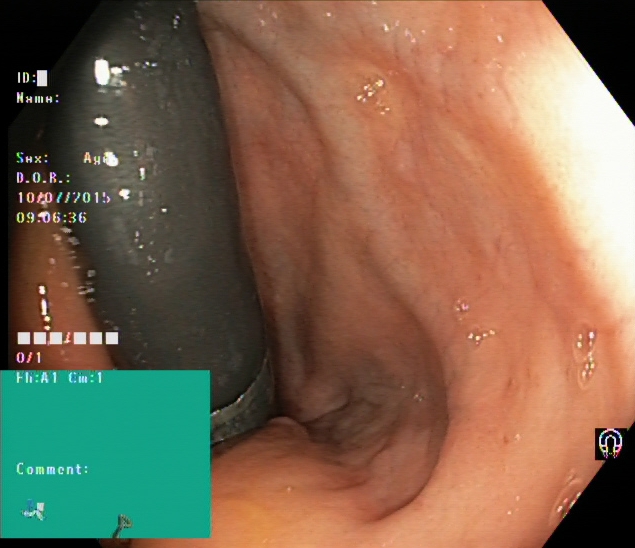Rectum in retroflexion.